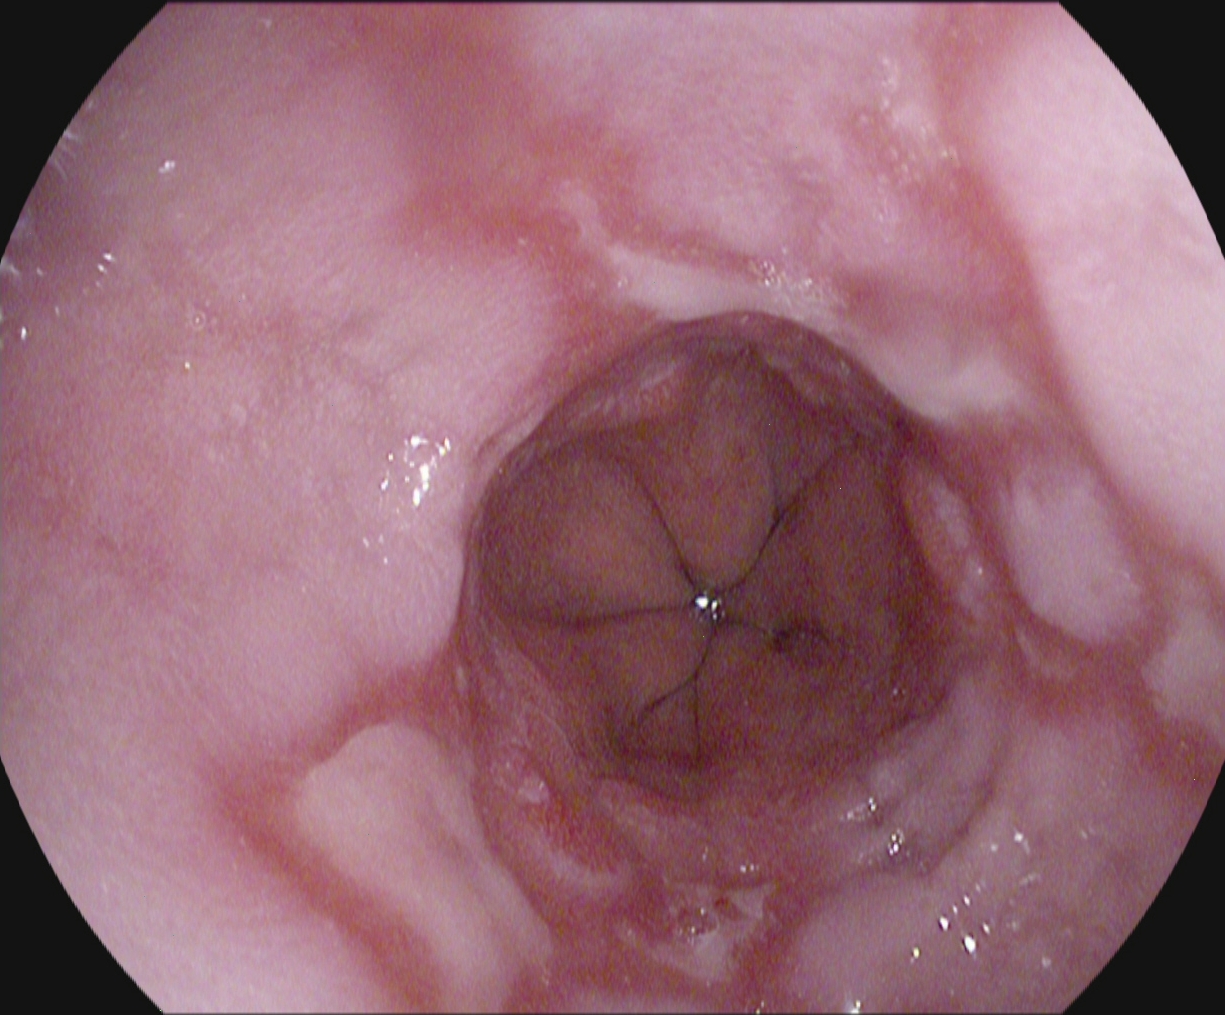modality: gastroscopy; category: pathological finding; finding: reflux esophagitis, LA grade B–D